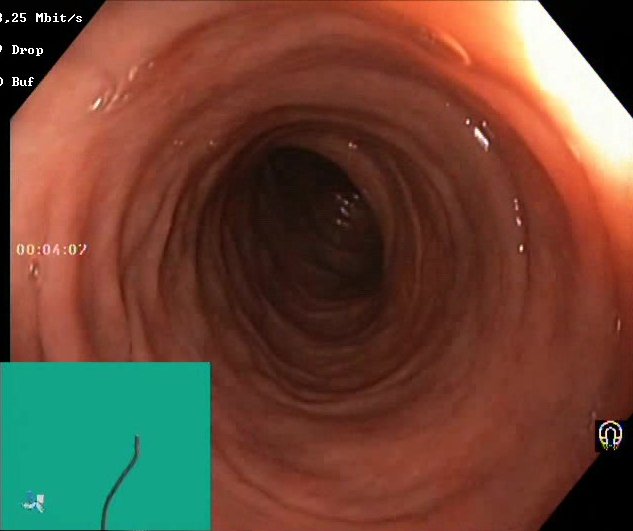modality: lower-GI endoscopy | tract: lower GI tract | finding: Boston Bowel Preparation Scale score 2–3 (adequate preparation)